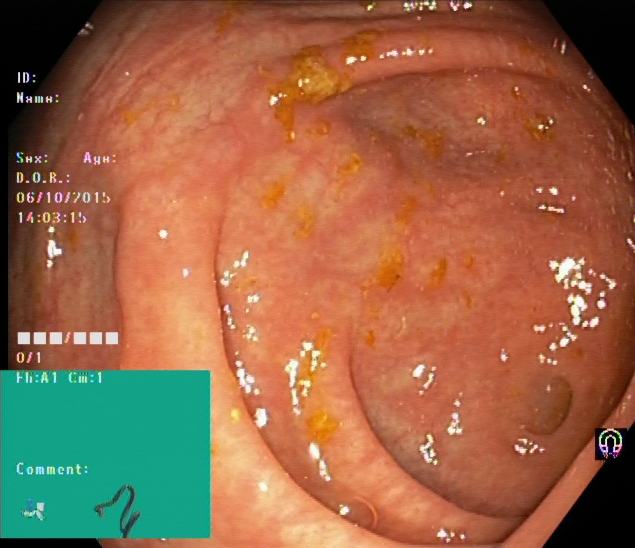Endoscopic frame showing cecum.